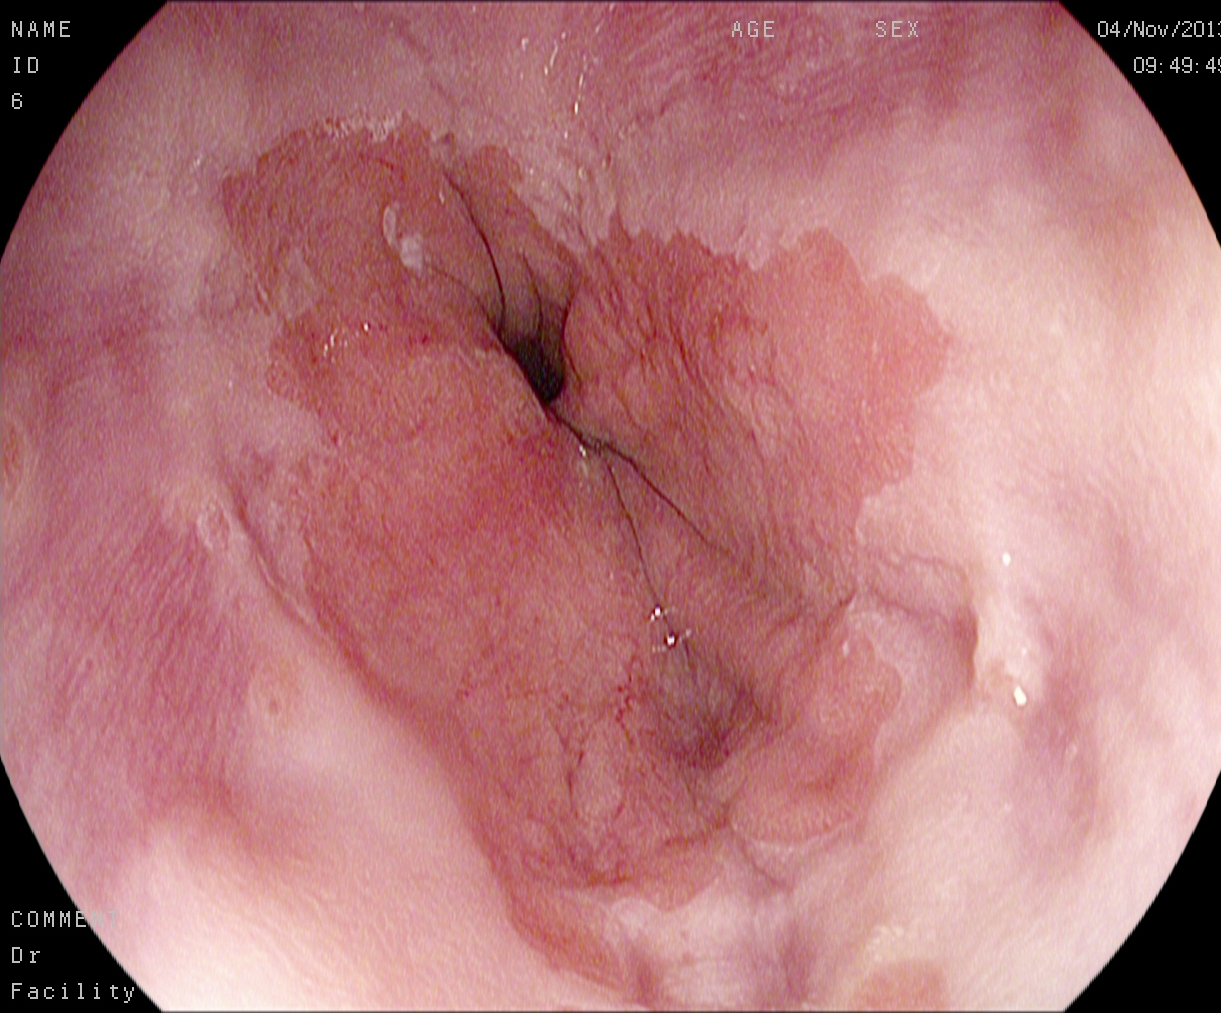Esophagogastroduodenoscopy — Z-line (gastroesophageal junction).